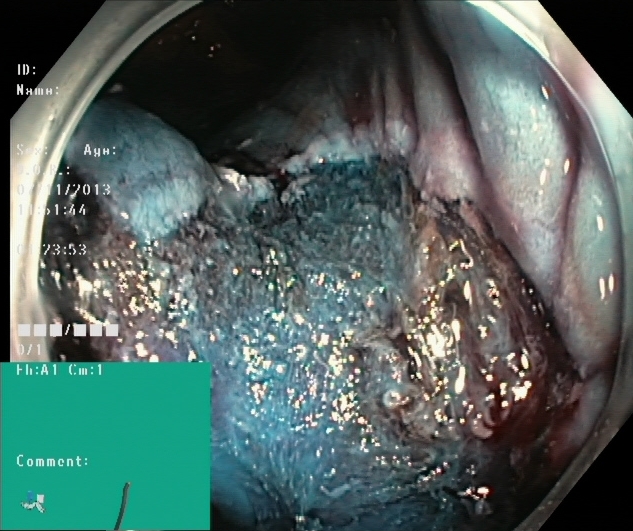Colonoscopy. Therapeutic intervention. Finding: dyed resection margins (post-polypectomy).